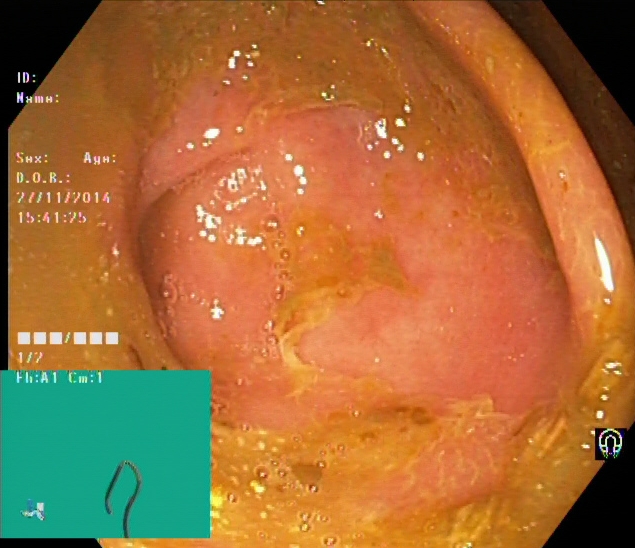PROCEDURE: Lower gastrointestinal endoscopy.
CATEGORY: Anatomical landmark.
FINDINGS: Cecum.